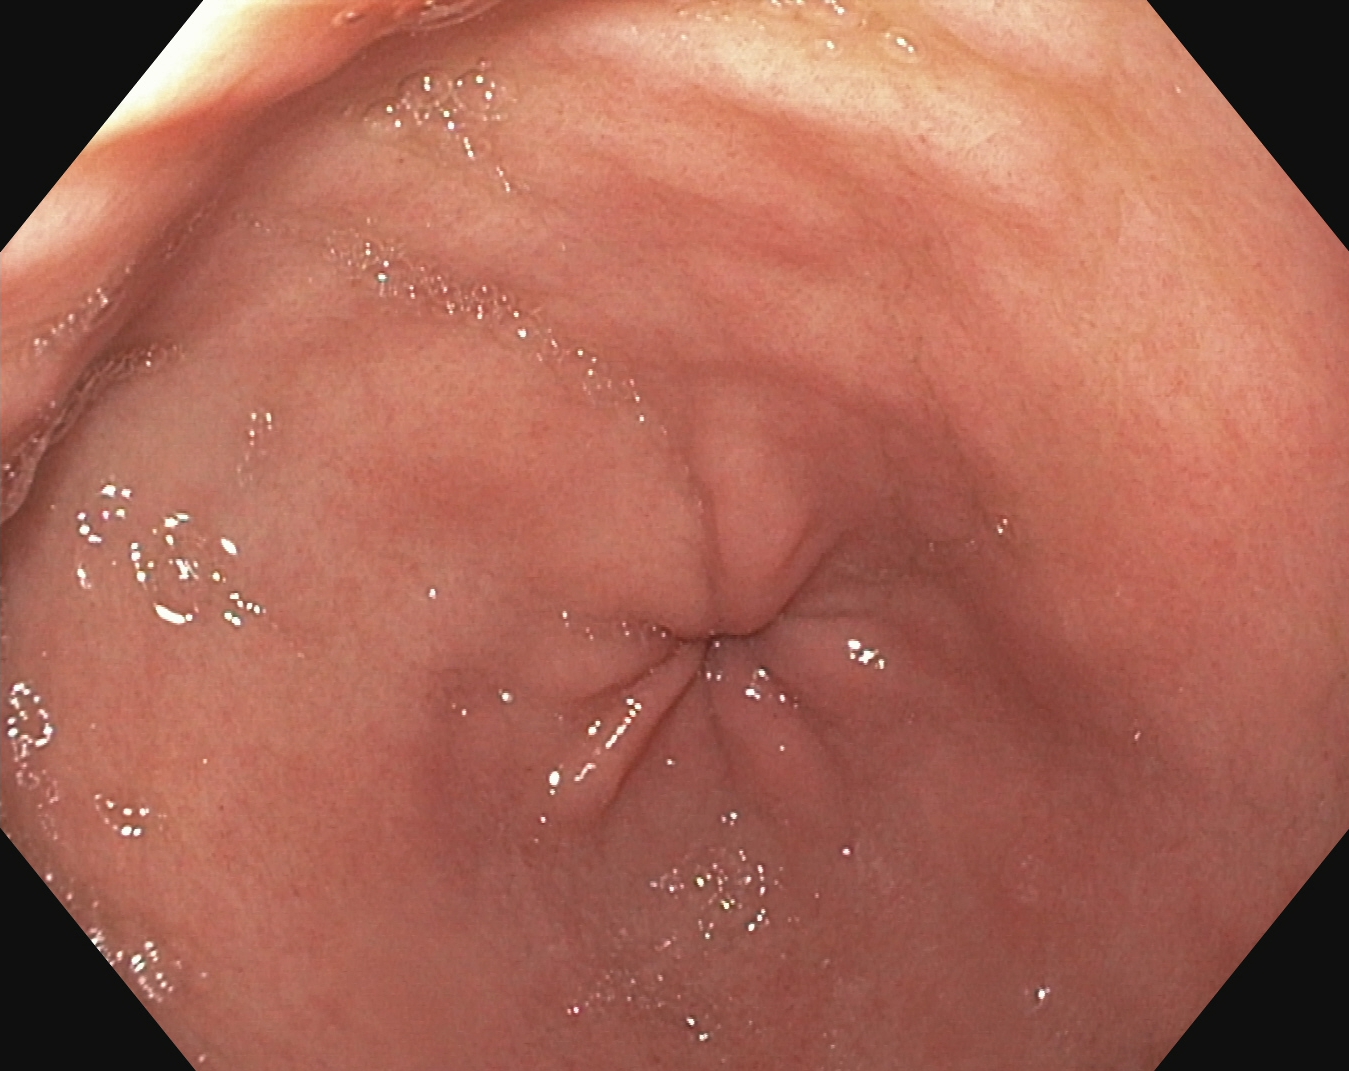PROCEDURE: Esophagogastroduodenoscopy.
CATEGORY: Anatomical landmark.
FINDINGS: Pylorus.